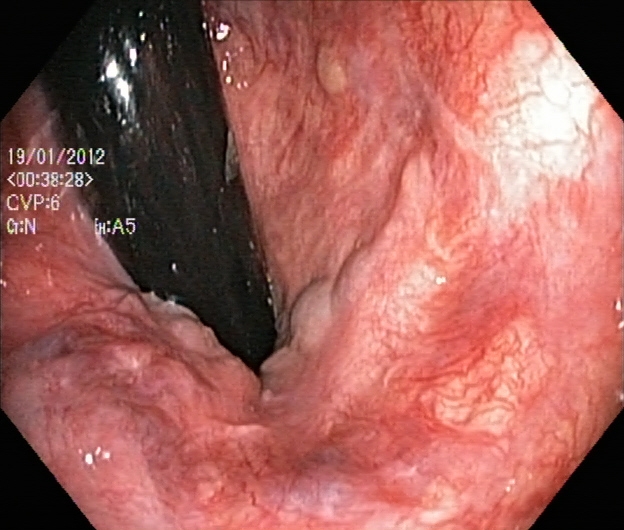modality: colonoscopy
finding: hemorrhoids